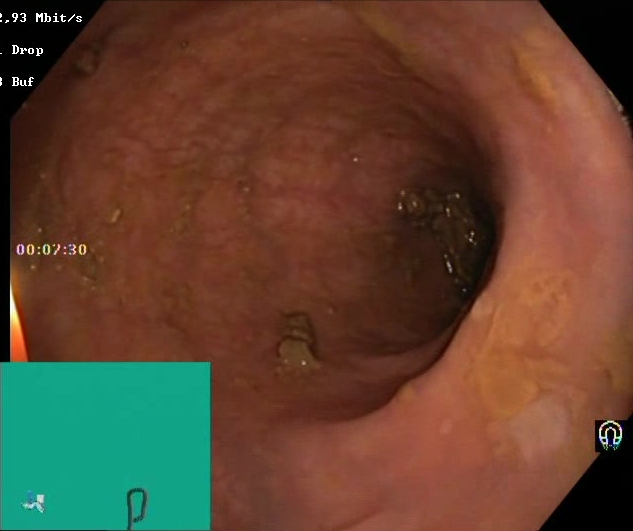Lower gastrointestinal endoscopy — BBPS score 2–3 (adequate preparation).